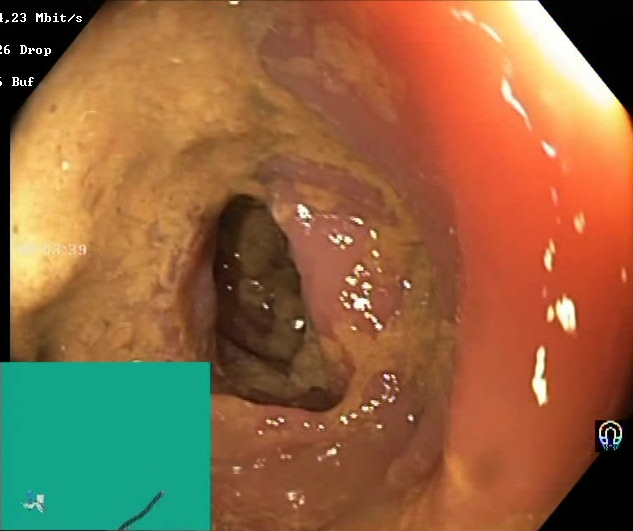Boston Bowel Preparation Scale score 0–1 (inadequate preparation).